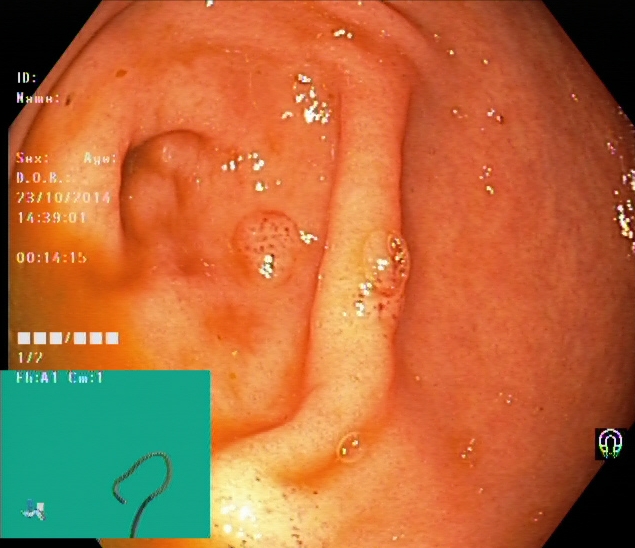PROCEDURE: Lower-GI endoscopy.
FINDINGS: Cecum.